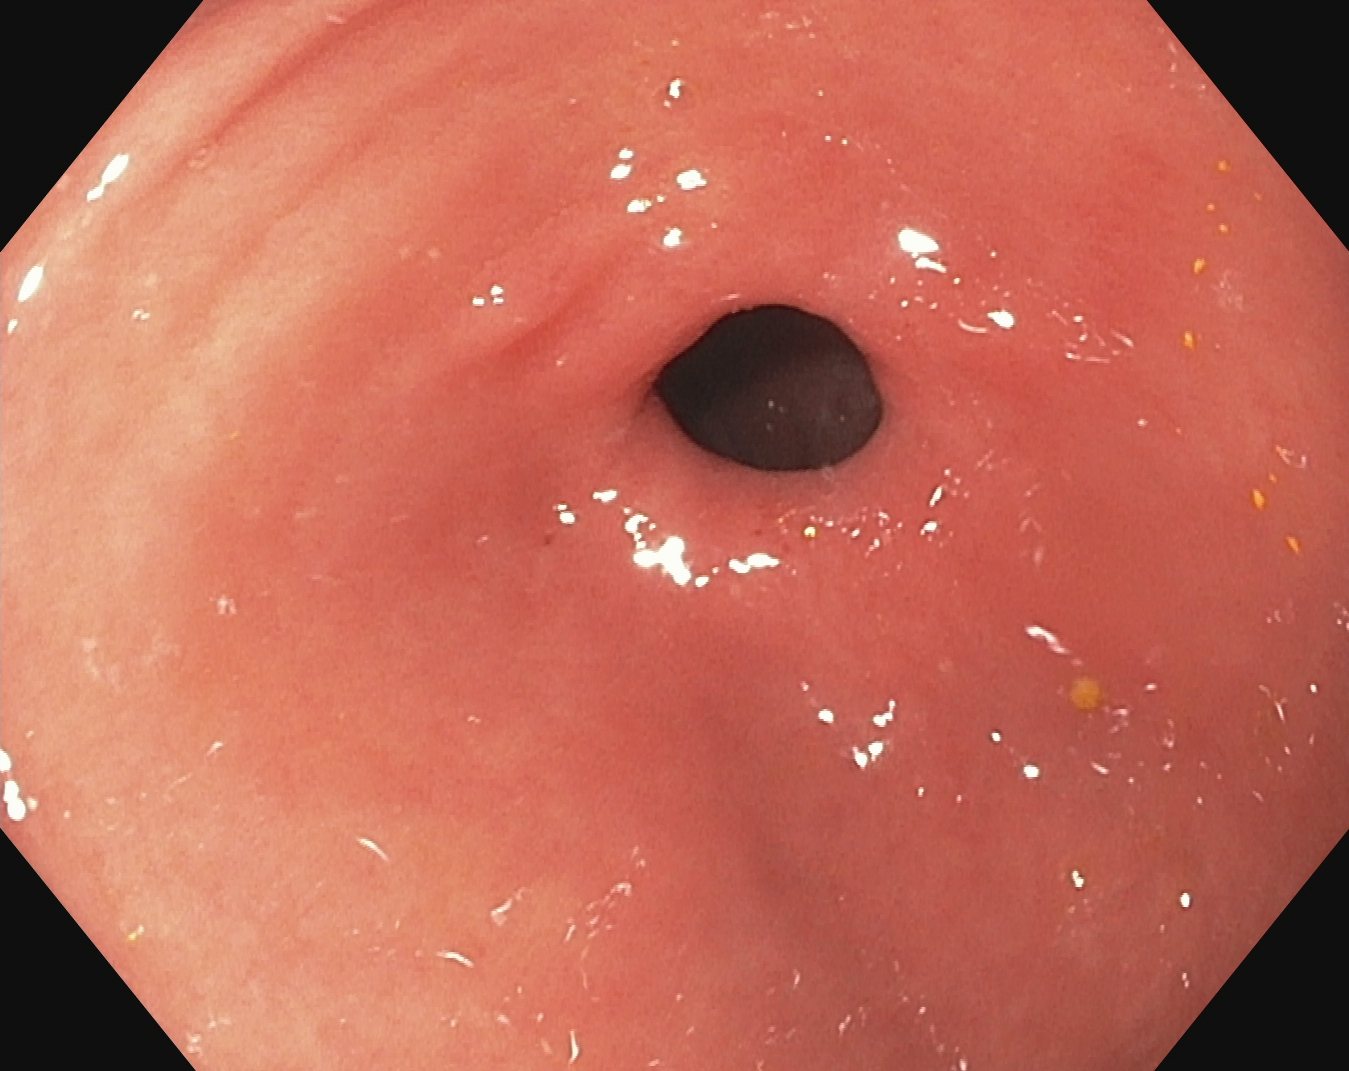Upper-GI endoscopy. Anatomical landmark. Finding: pylorus.